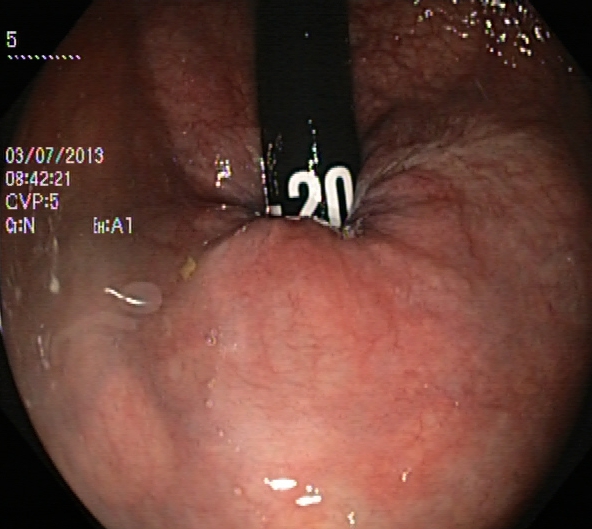Lower gastrointestinal endoscopy. Finding: rectum in retroflexion.